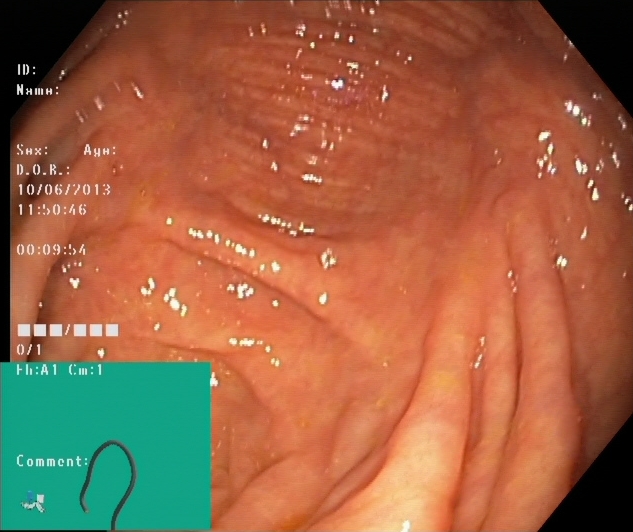Cecum.